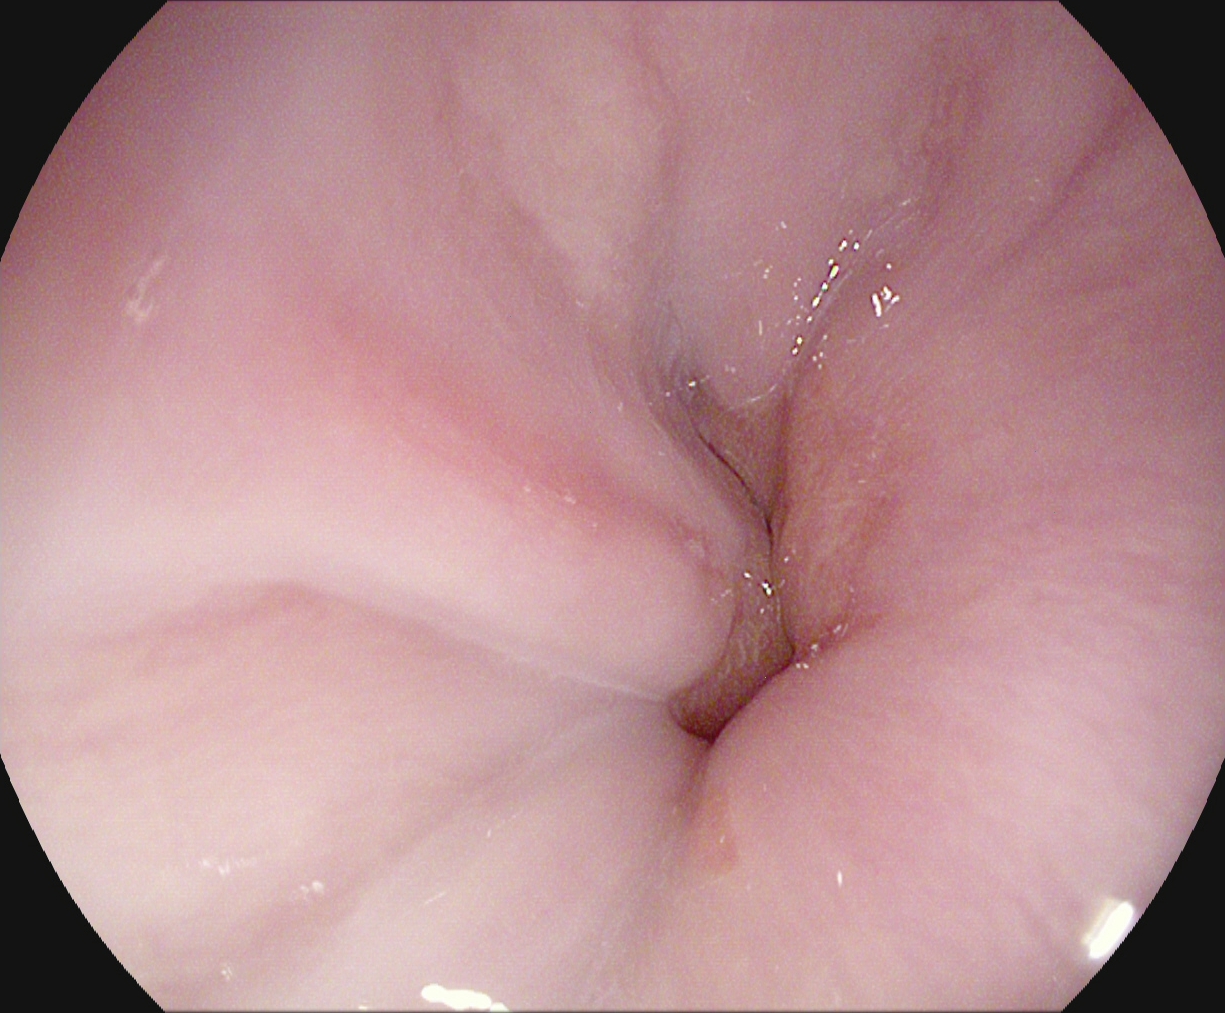Gastroscopy — Z-line (gastroesophageal junction).